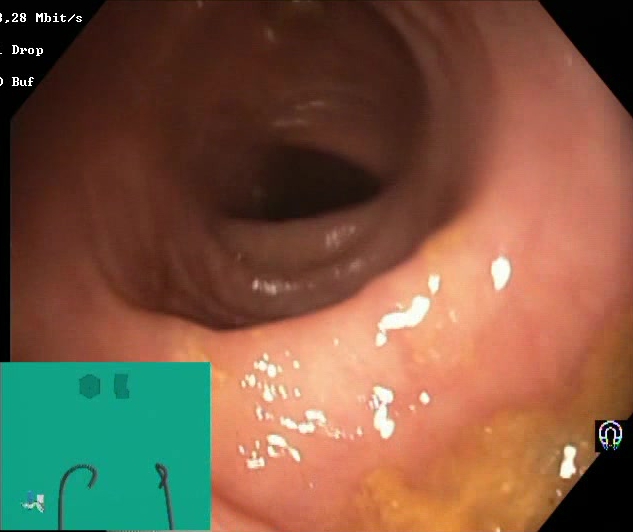PROCEDURE: Colonoscopy.
FINDINGS: BBPS score 2–3 (adequate preparation).